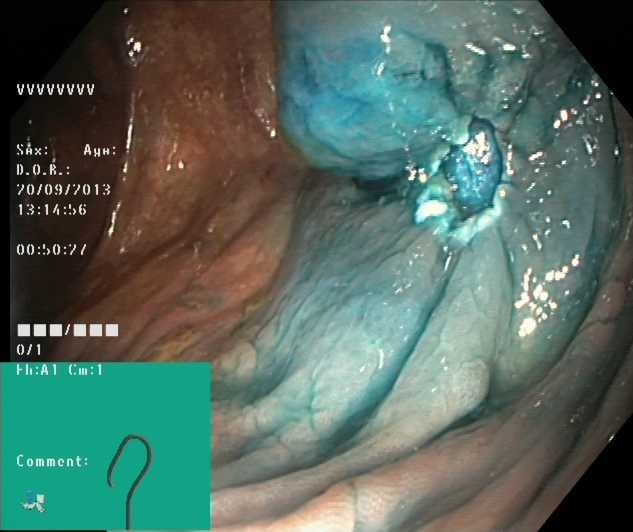This endoscopy frame shows dyed resection margins (post-polypectomy).